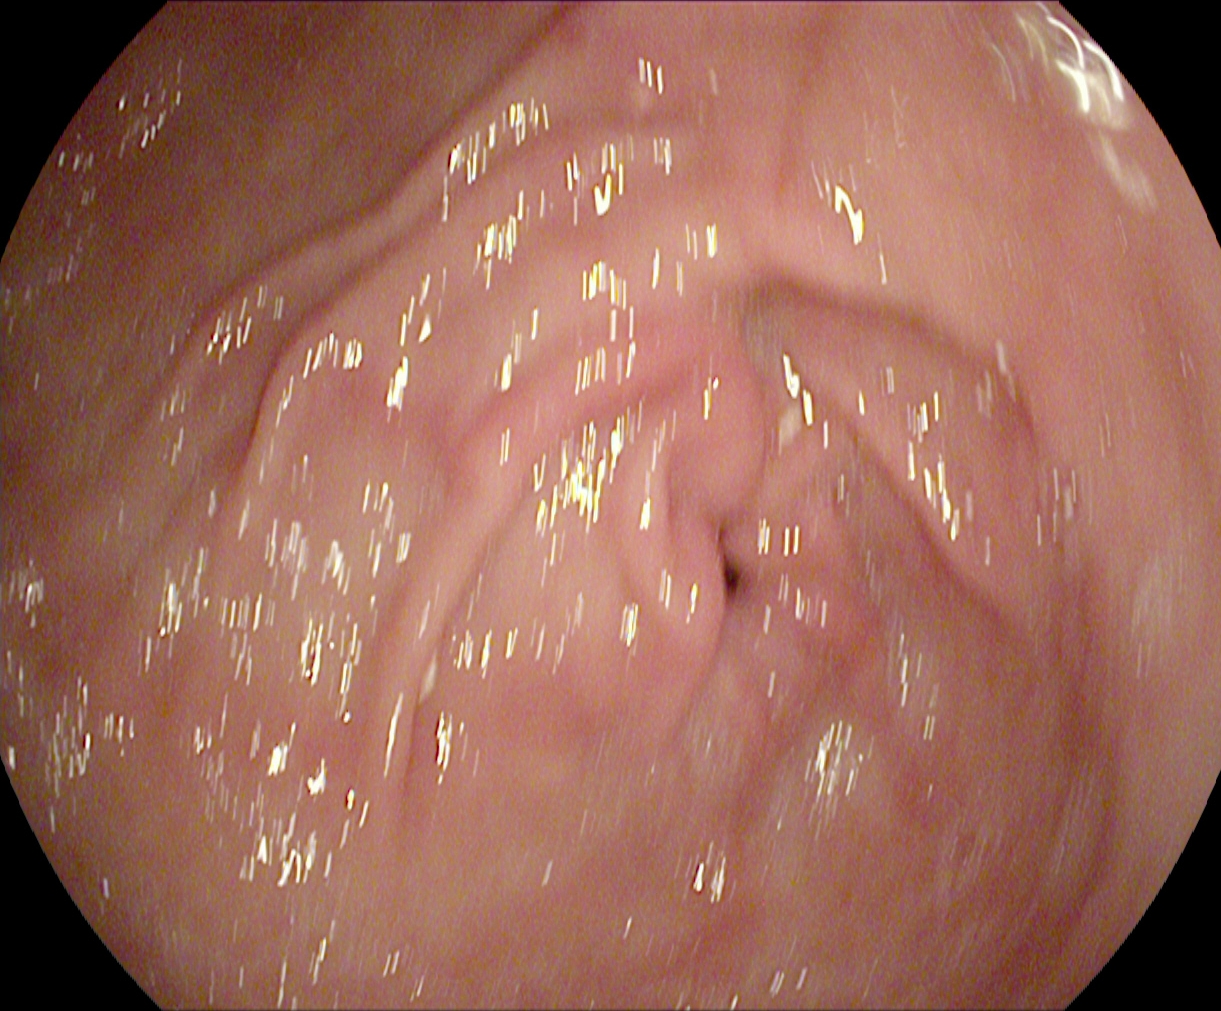Gastroscopy — pylorus.